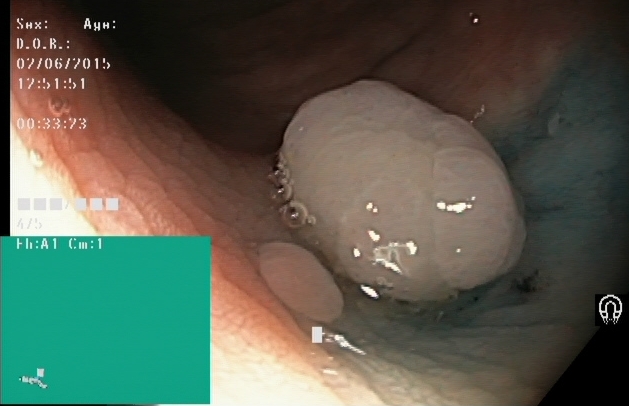{"modality": "colonoscopy", "finding": "dyed and lifted polyp (pre-resection)"}